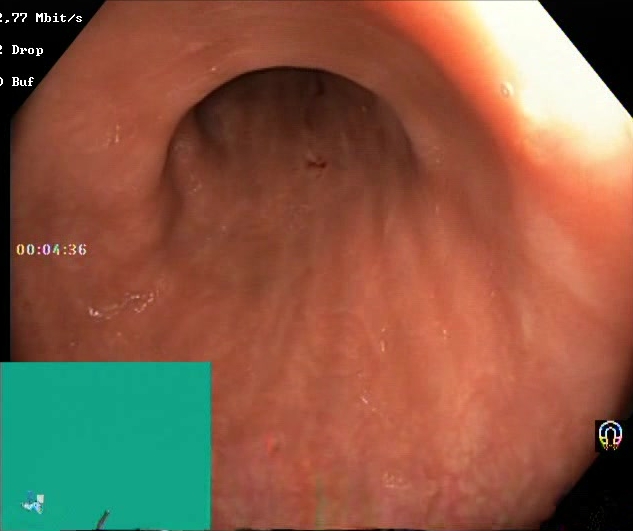modality: lower-GI endoscopy
tract: lower GI tract
finding: Boston Bowel Preparation Scale score 2–3 (adequate preparation)